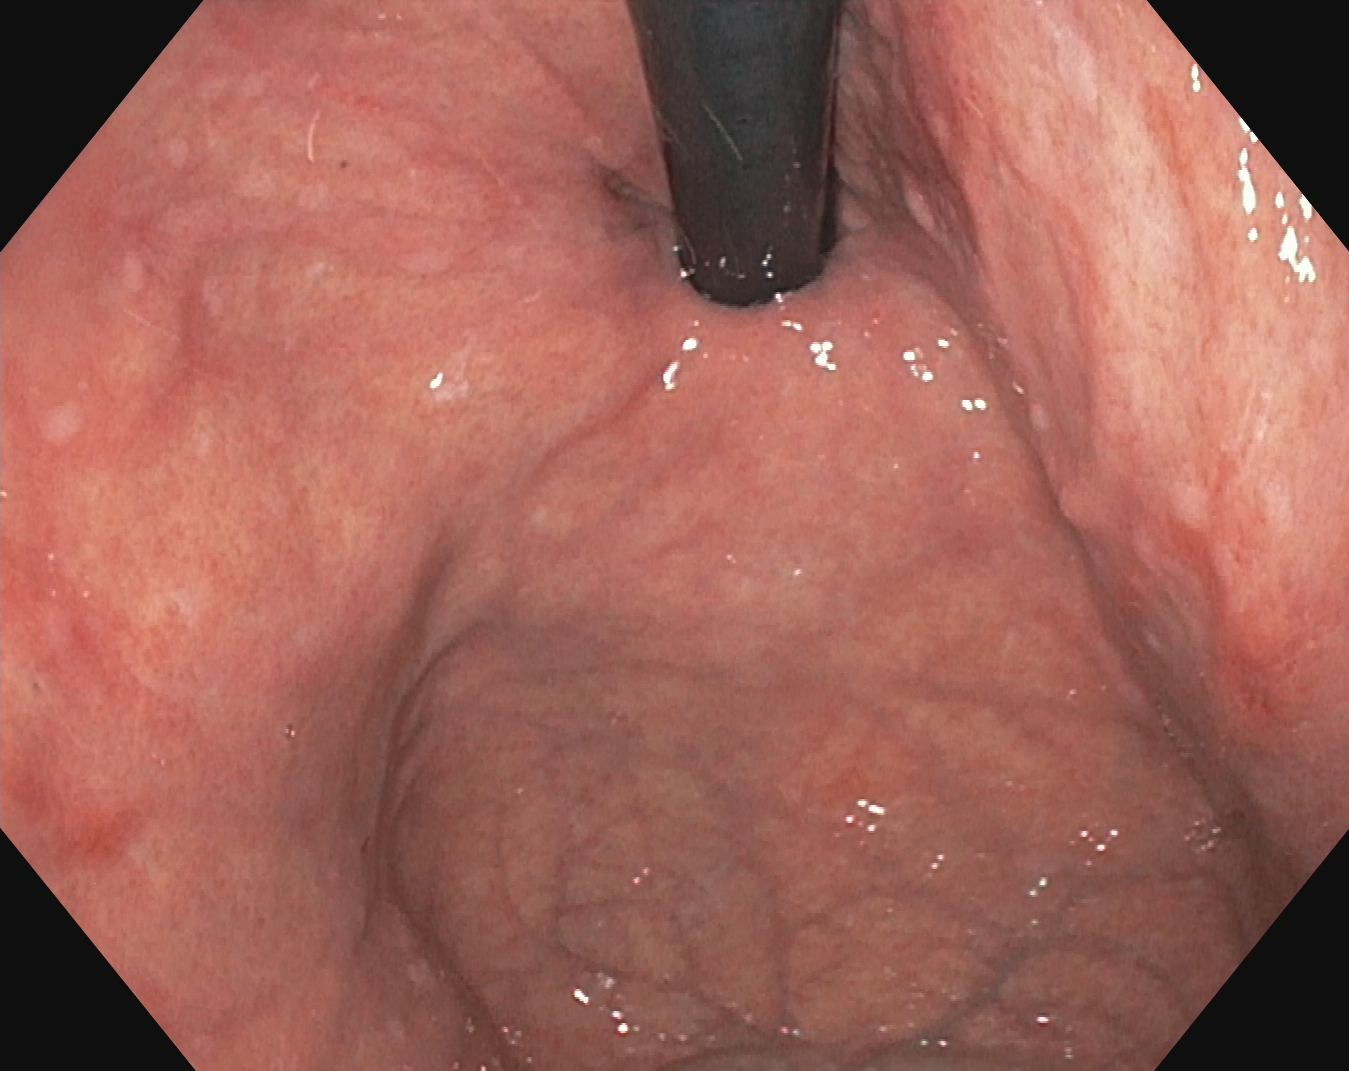Stomach in retroflexion.